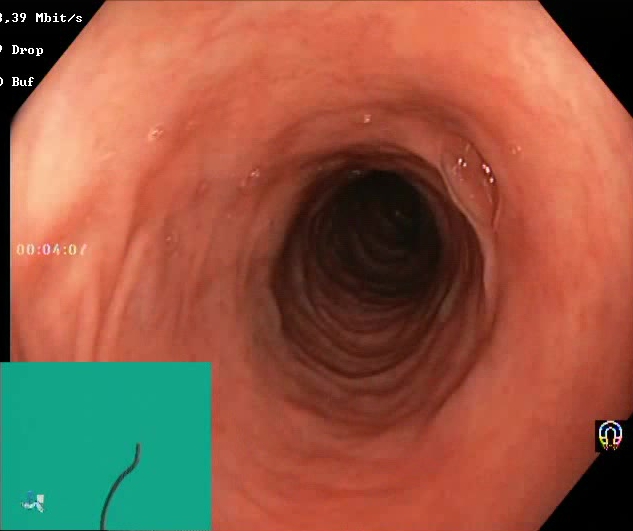This endoscopy frame shows Boston Bowel Preparation Scale score 2–3 (adequate preparation).